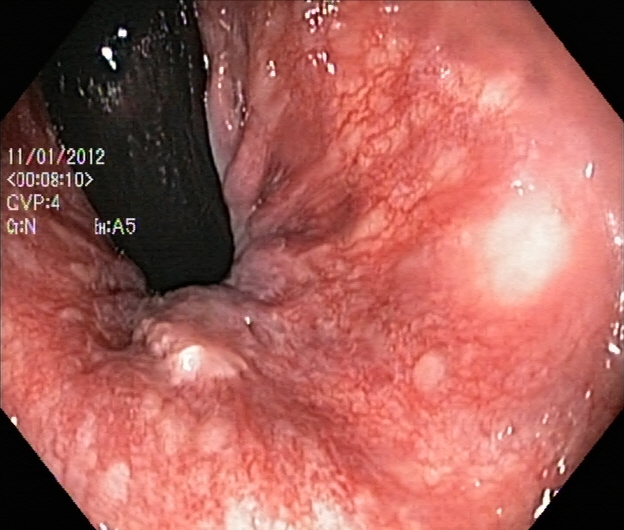Rectum in retroflexion.